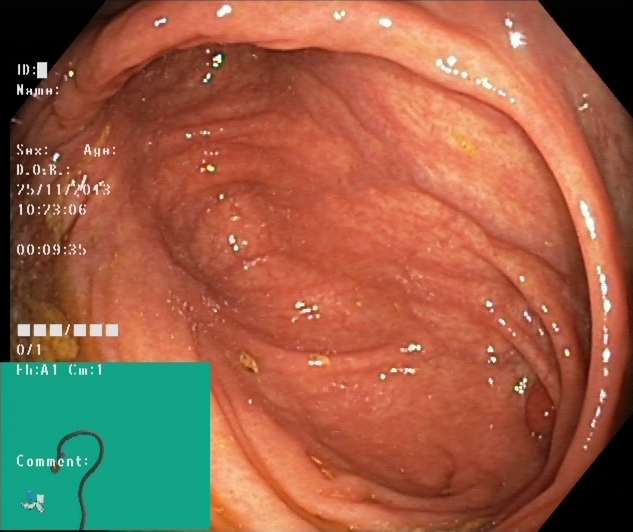{"modality": "colonoscopy", "category": "anatomical landmark", "finding": "cecum"}